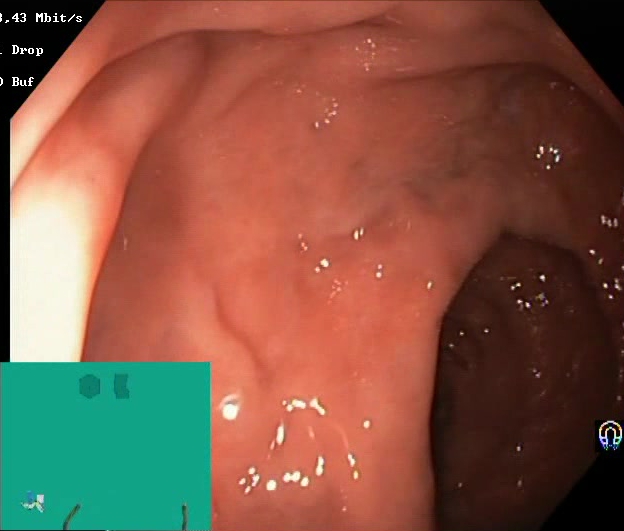Lower gastrointestinal endoscopy image of the lower GI tract showing BBPS score 2–3 (adequate preparation).